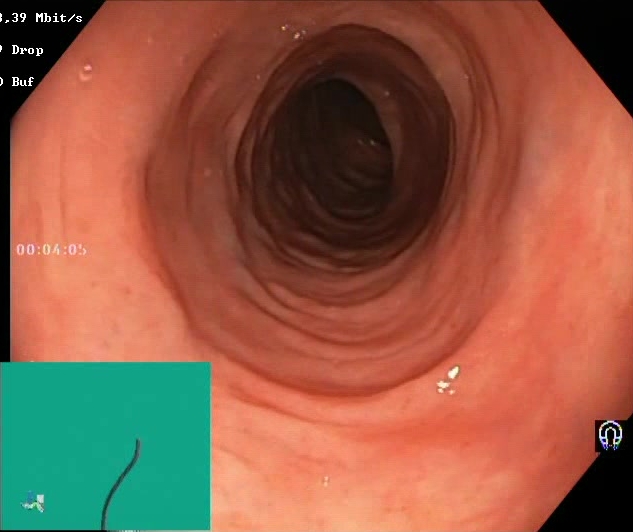modality: lower gastrointestinal endoscopy | finding: BBPS score 2–3 (adequate preparation)